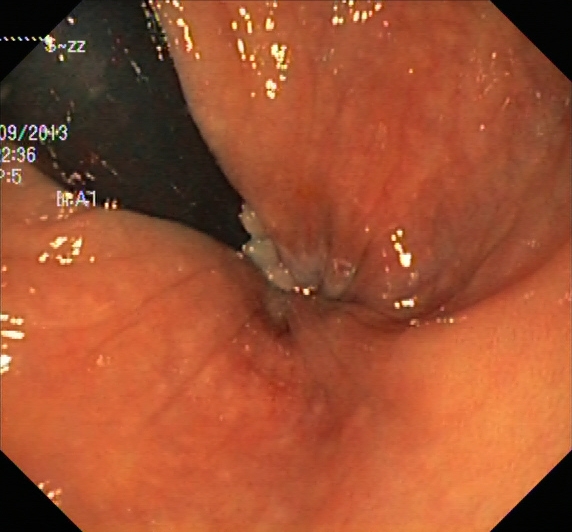Colonoscopy — rectum in retroflexion.